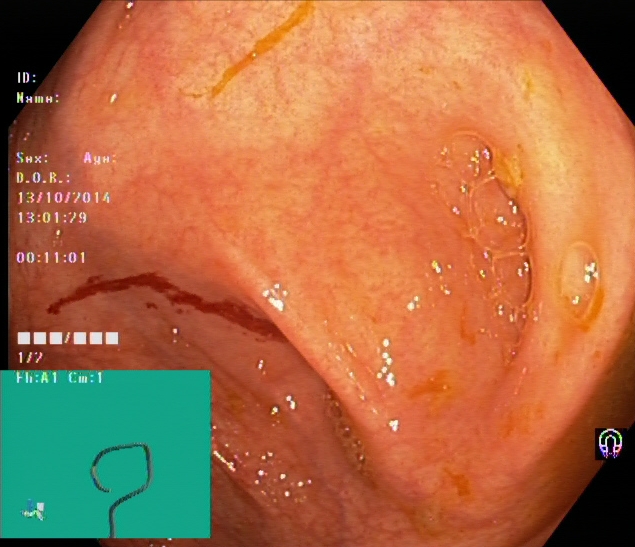{"modality": "lower-GI endoscopy", "tract": "lower GI tract", "category": "anatomical landmark", "finding": "cecum"}